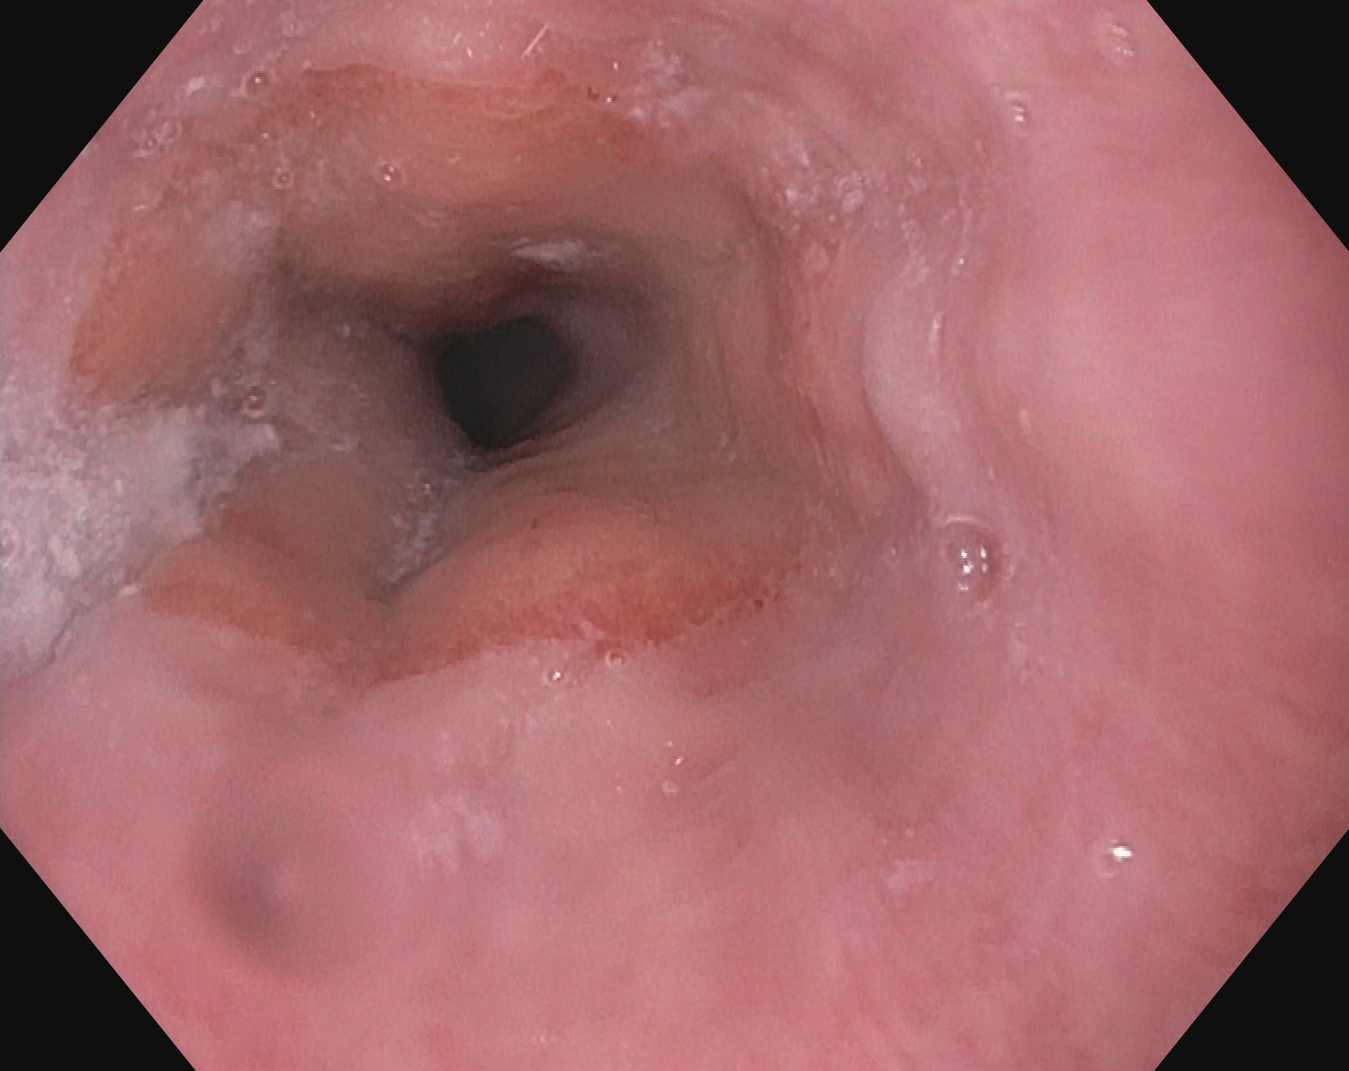This endoscopic image of the upper GI tract shows Z-line (gastroesophageal junction).